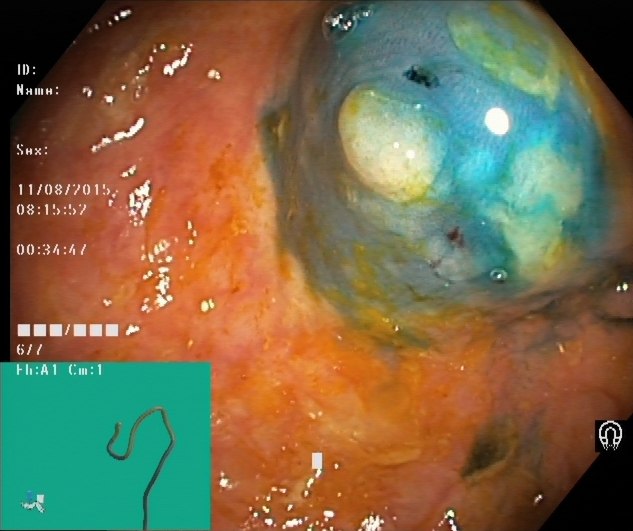Colonoscopy — dyed and lifted polyp (pre-resection).